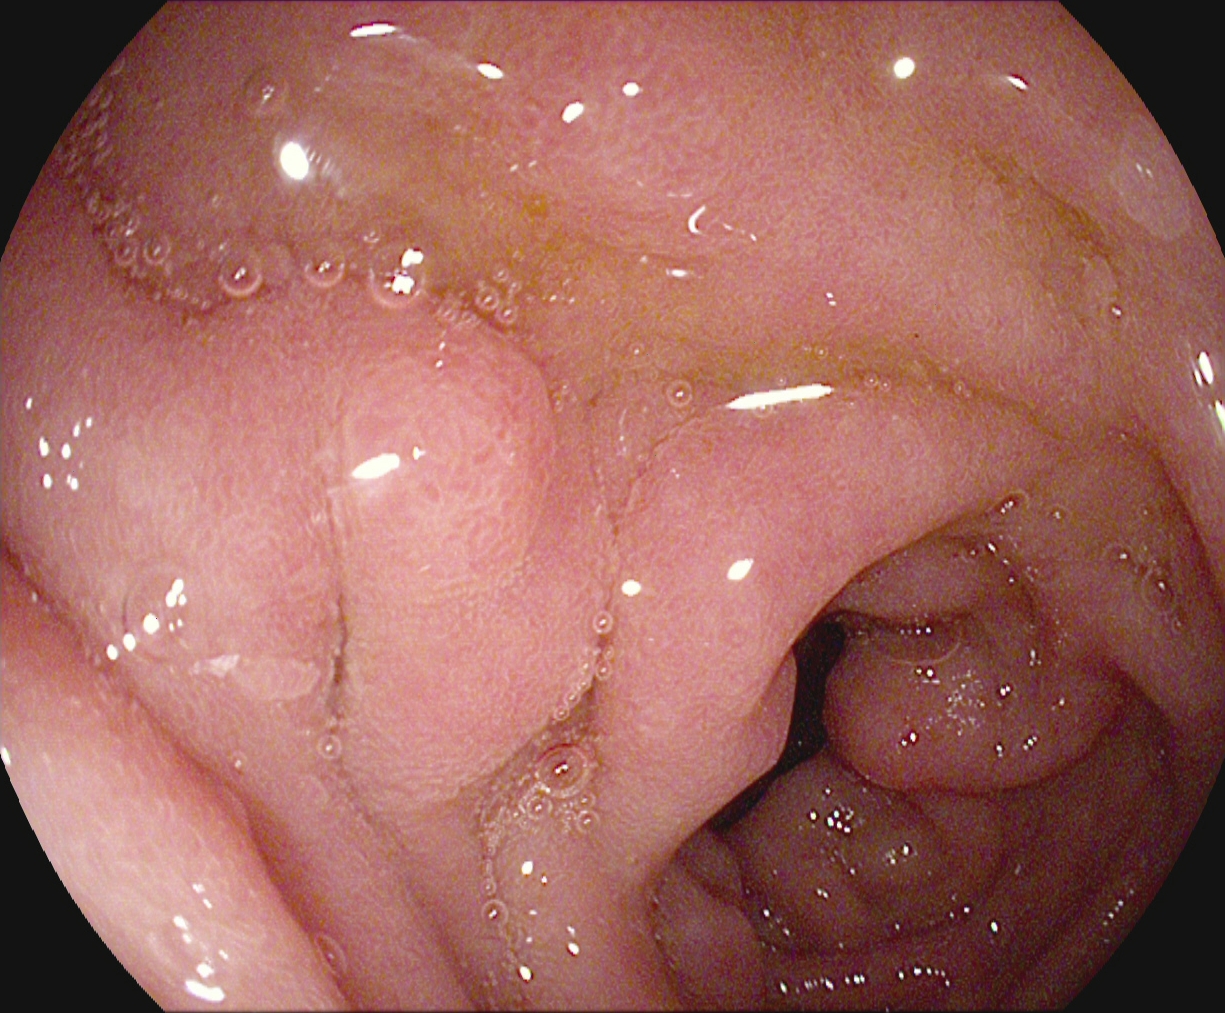Gastroscopy. Anatomical landmark. Finding: pylorus.